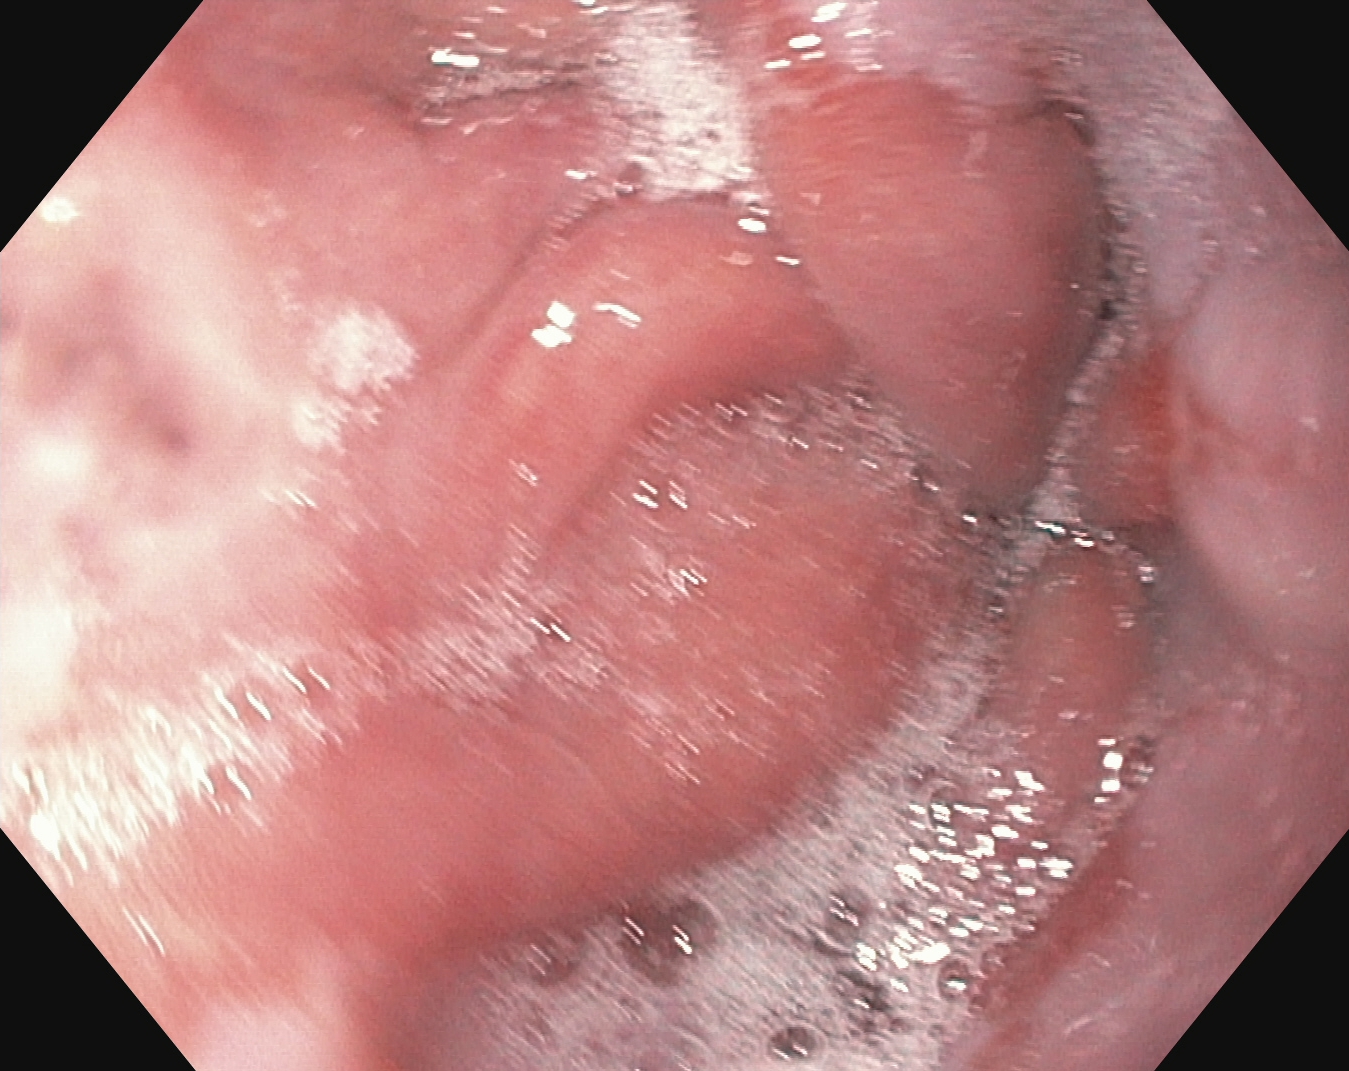{"modality": "esophagogastroduodenoscopy", "tract": "upper GI tract", "finding": "reflux esophagitis, Los Angeles grade A"}